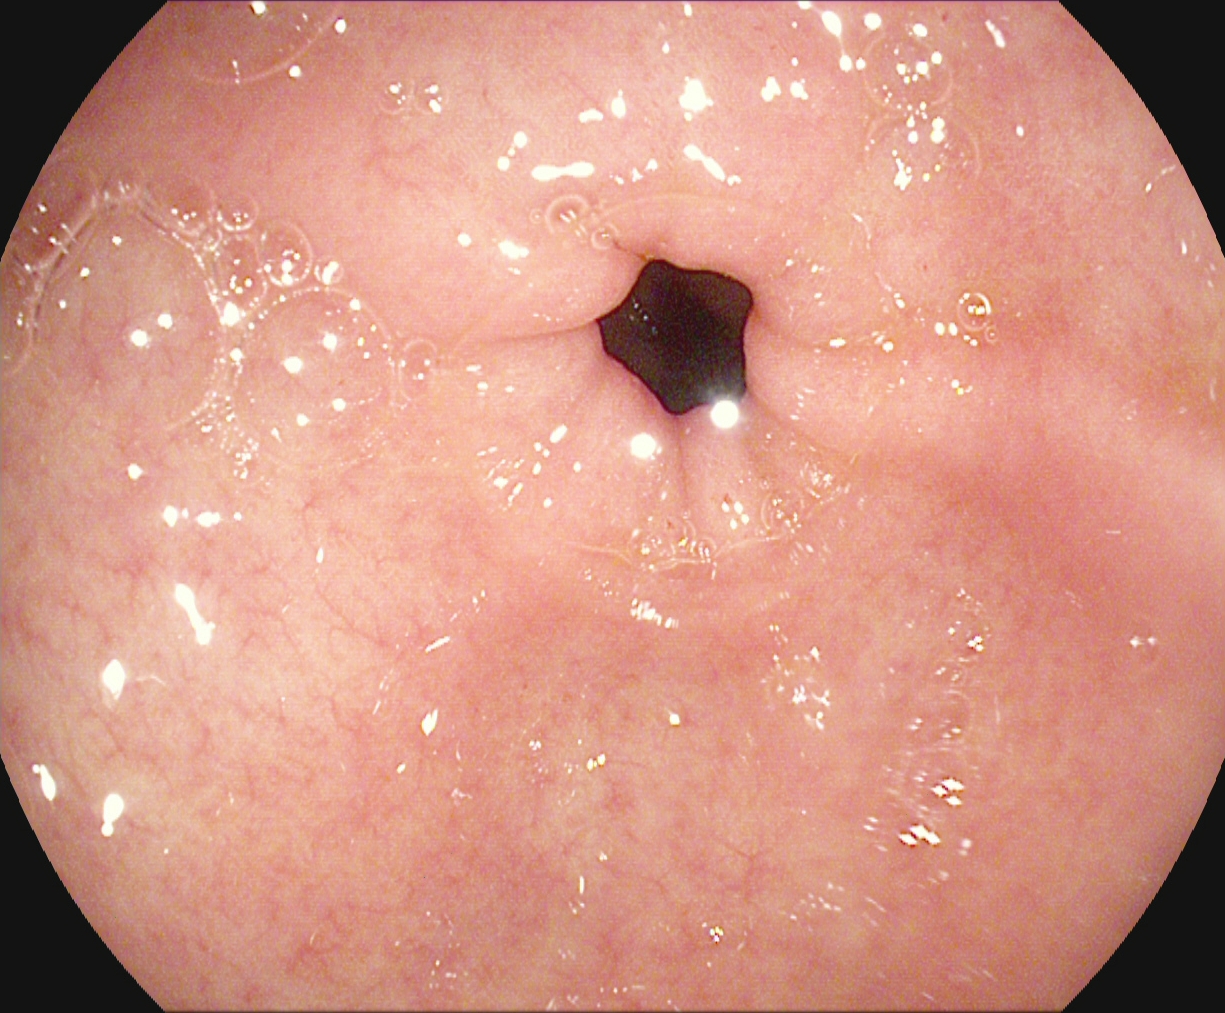{"modality": "upper-GI endoscopy", "finding": "pylorus"}